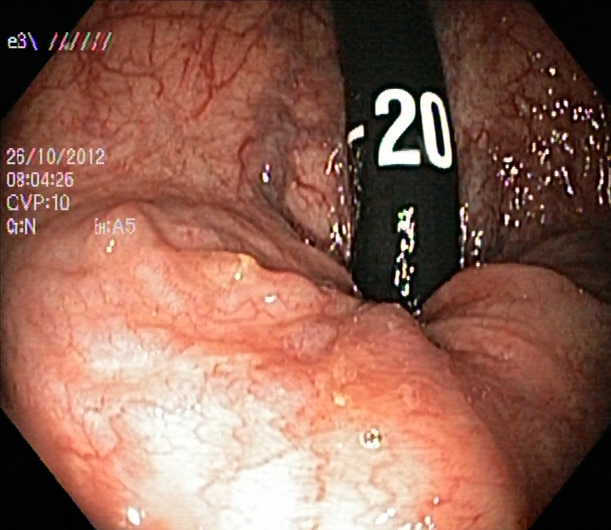Colonoscopy. Tract: lower GI tract. Finding: rectum in retroflexion.